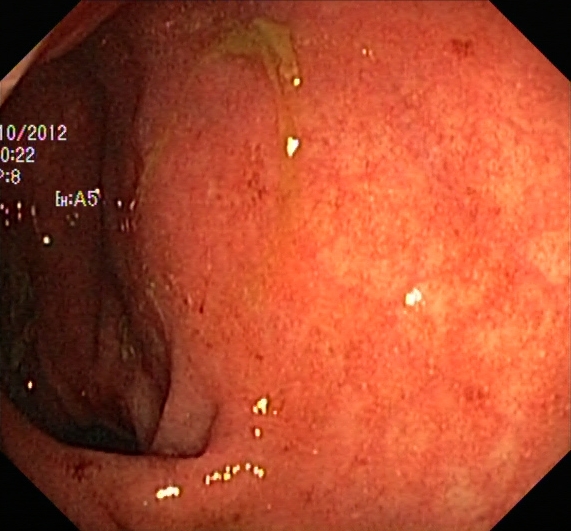{"modality": "lower gastrointestinal endoscopy", "tract": "lower GI tract", "finding": "ulcerative colitis, Mayo endoscopic subscore 2"}